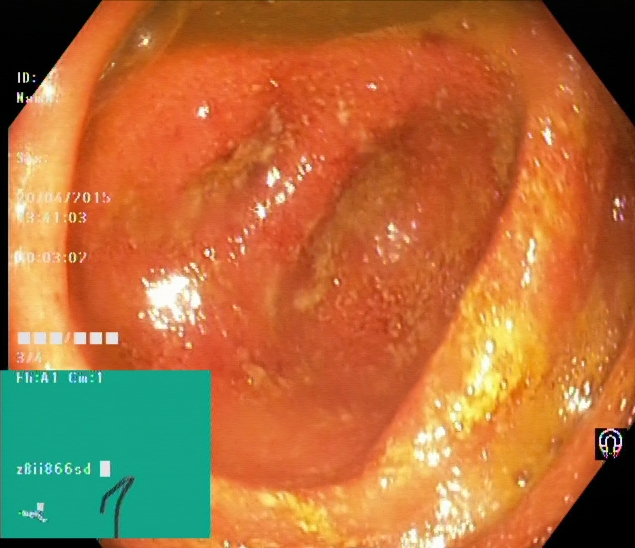UC, Mayo endoscopic subscore 2.